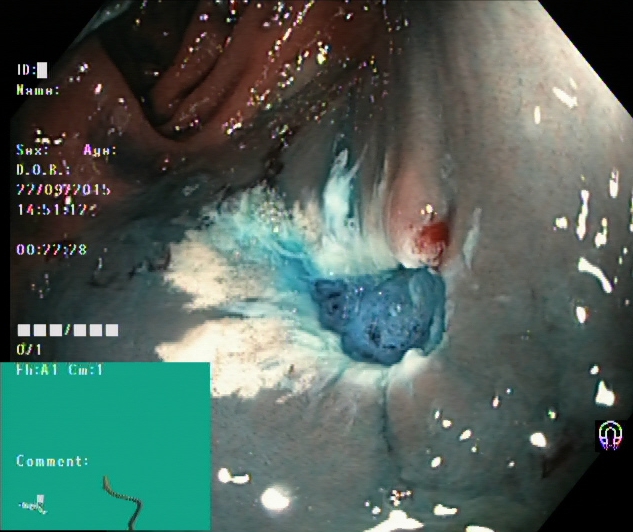Dyed resection margins (post-polypectomy).